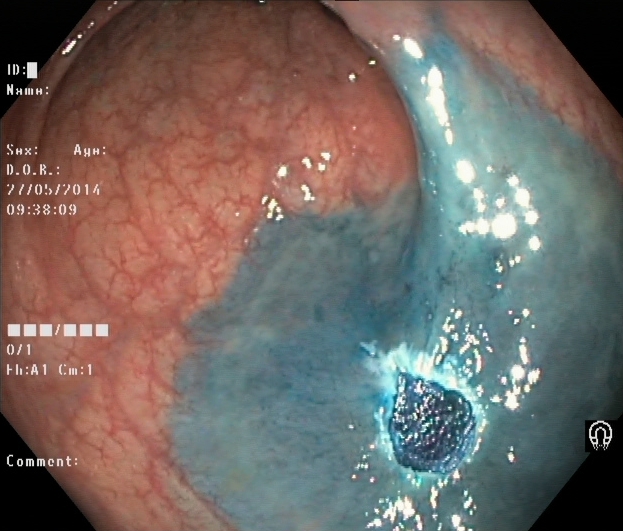Dyed resection margins (post-polypectomy).